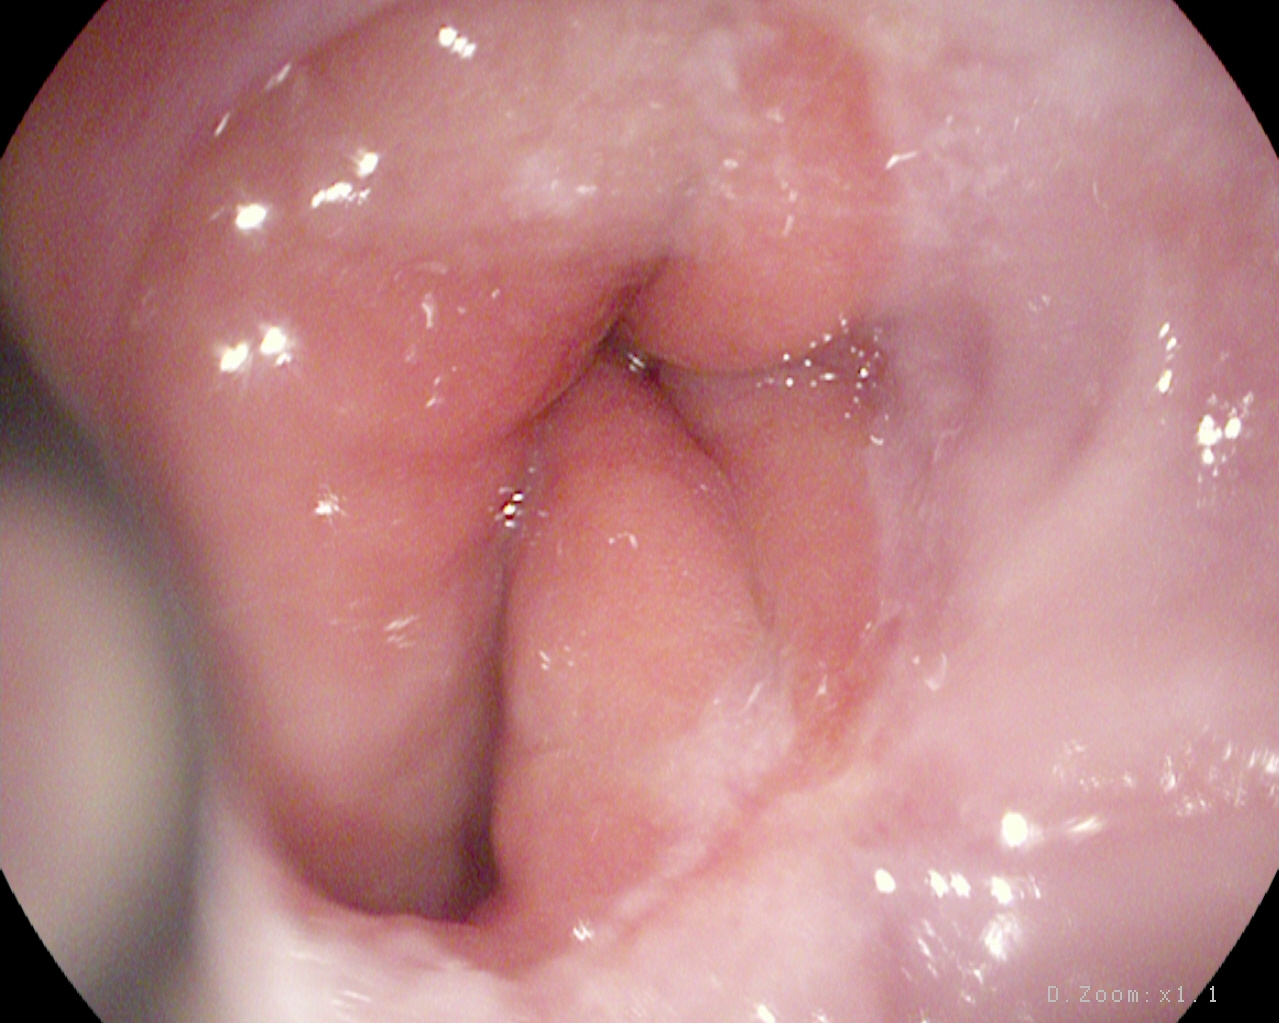PROCEDURE: Upper-GI endoscopy.
CATEGORY: Anatomical landmark.
FINDINGS: Z-line (gastroesophageal junction).